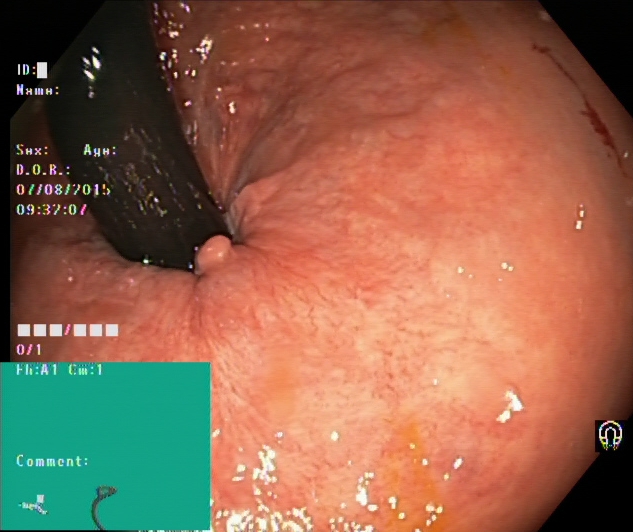Rectum in retroflexion.